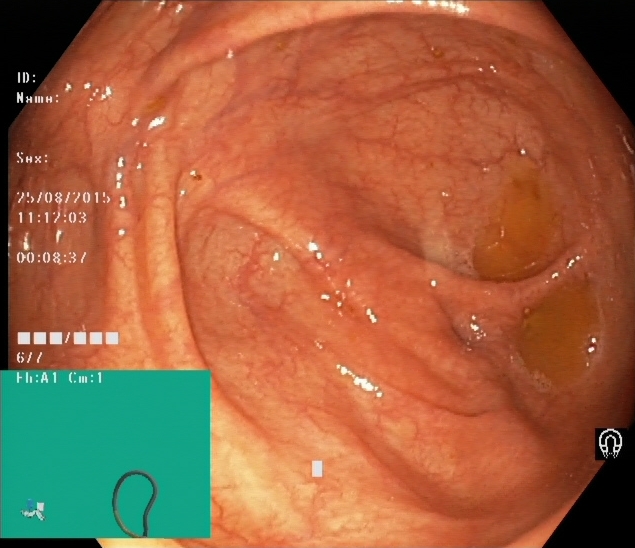Endoscopic frame of the lower GI tract showing cecum.